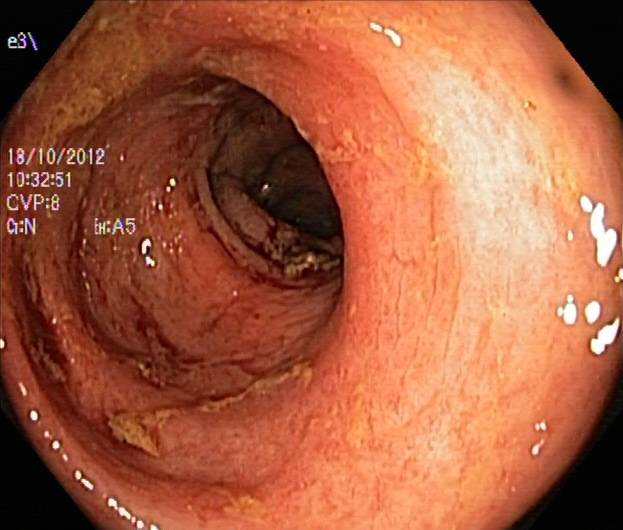modality: lower gastrointestinal endoscopy
tract: lower GI tract
category: pathological finding
finding: ulcerative colitis, Mayo endoscopic subscore 2